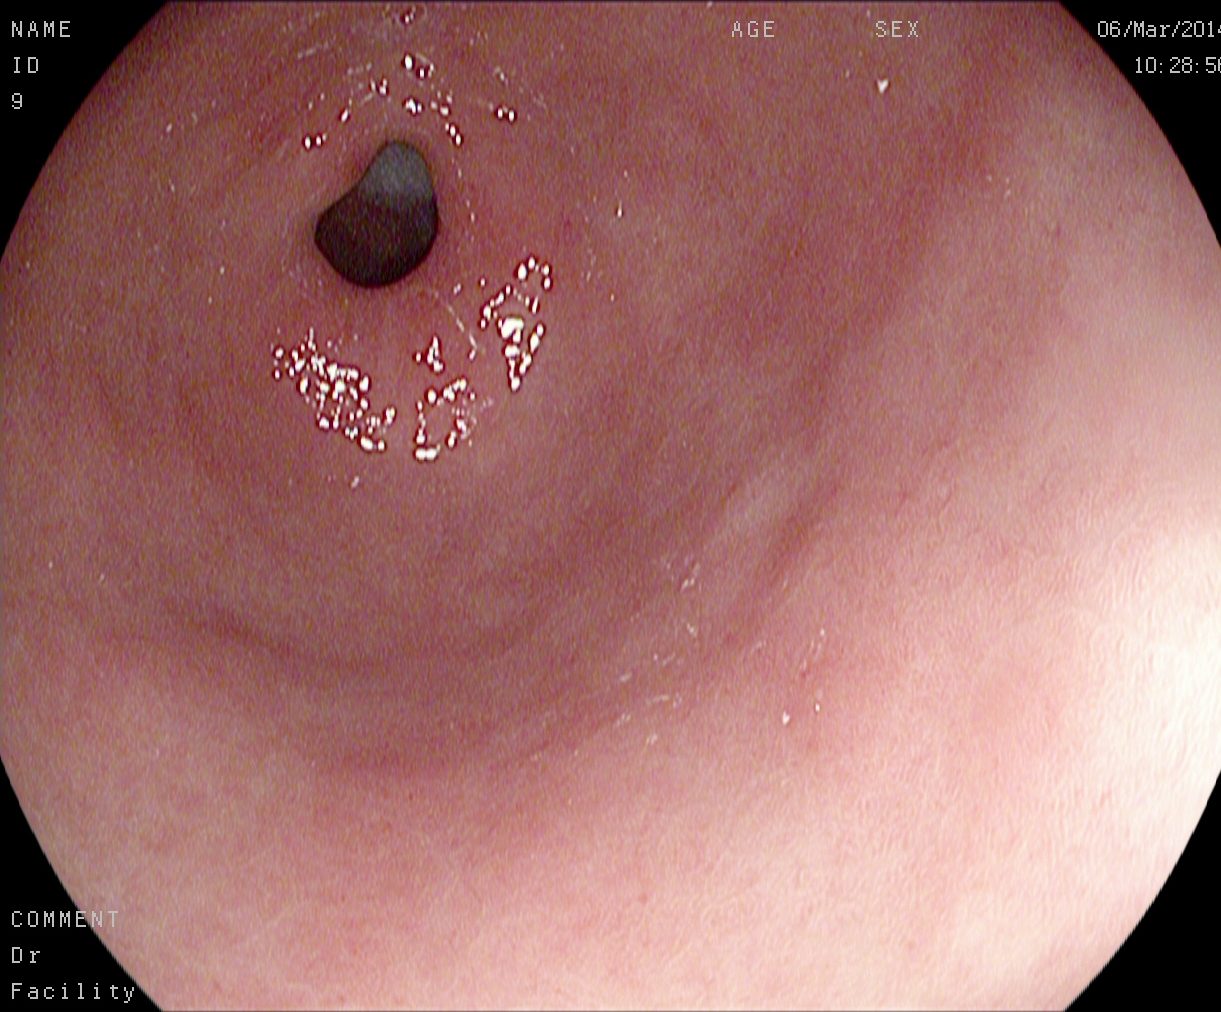PROCEDURE: Esophagogastroduodenoscopy.
FINDINGS: Pylorus.